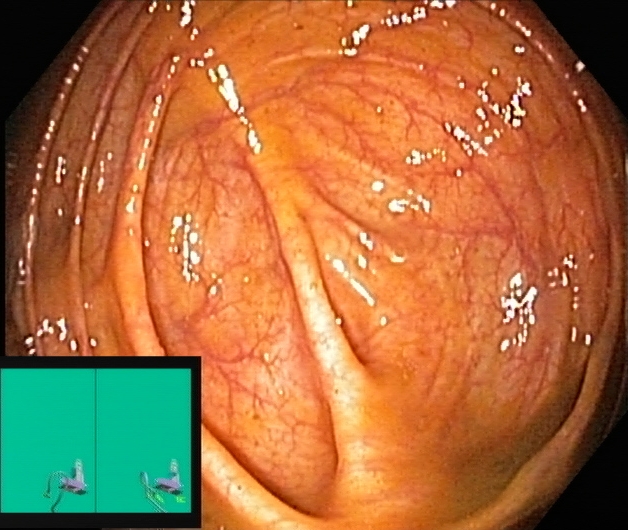{"modality": "lower gastrointestinal endoscopy", "category": "anatomical landmark", "finding": "cecum"}